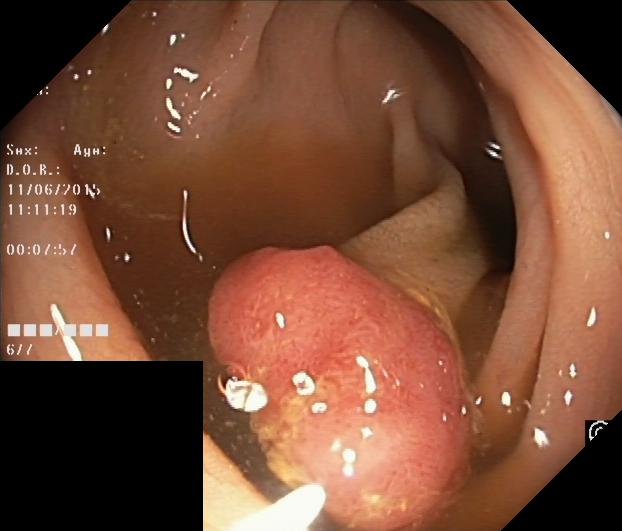Colonoscopy. Pathological finding. Finding: colorectal polyp(s).